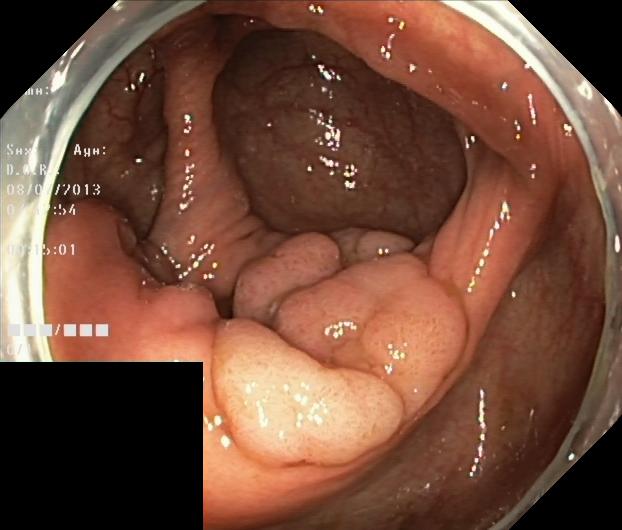Endoscopic image of the lower GI tract showing colorectal polyp(s).